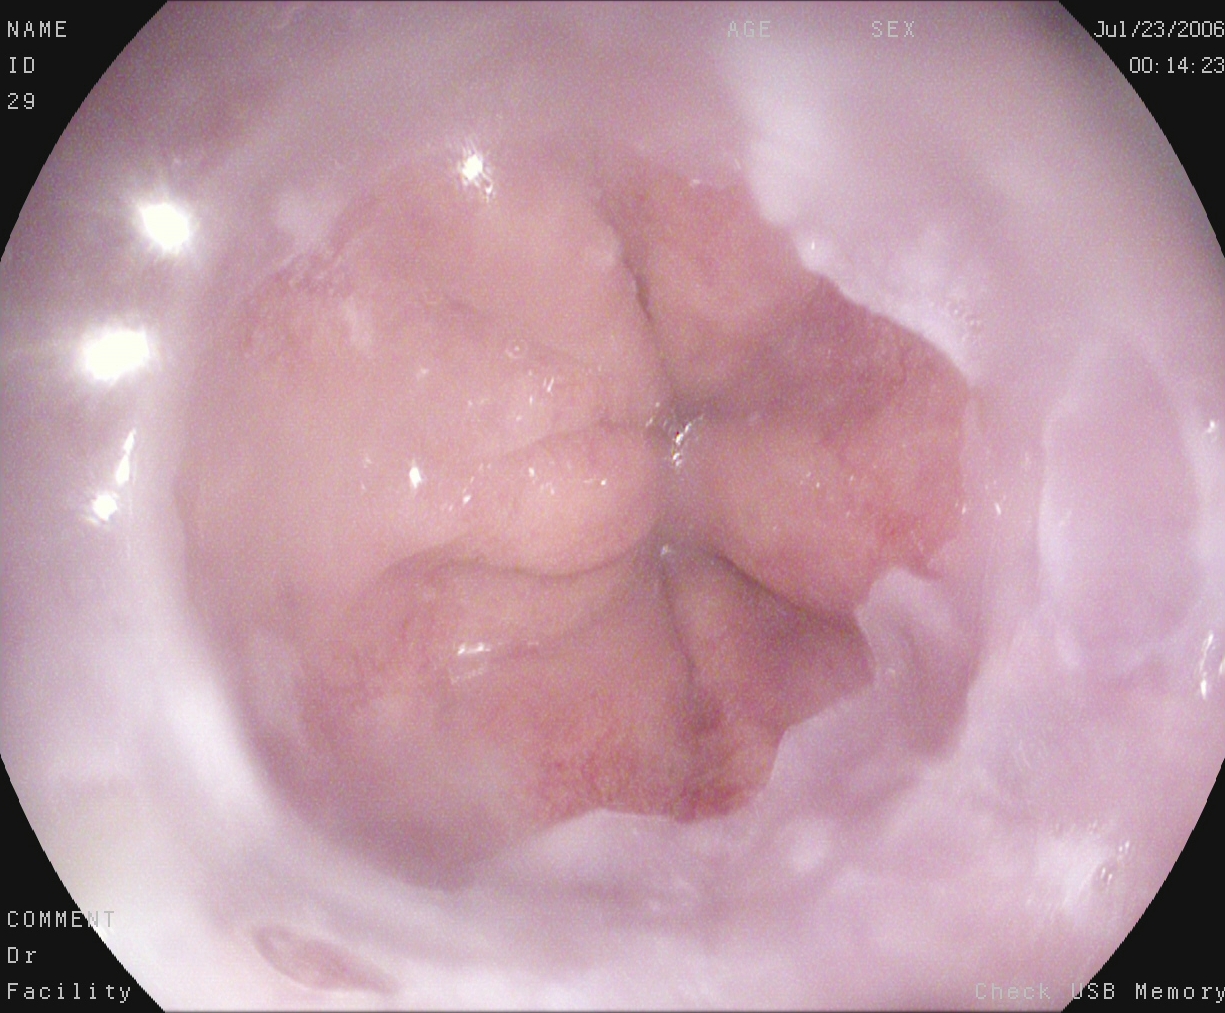{"modality": "upper-GI endoscopy", "category": "anatomical landmark", "finding": "Z-line (gastroesophageal junction)"}